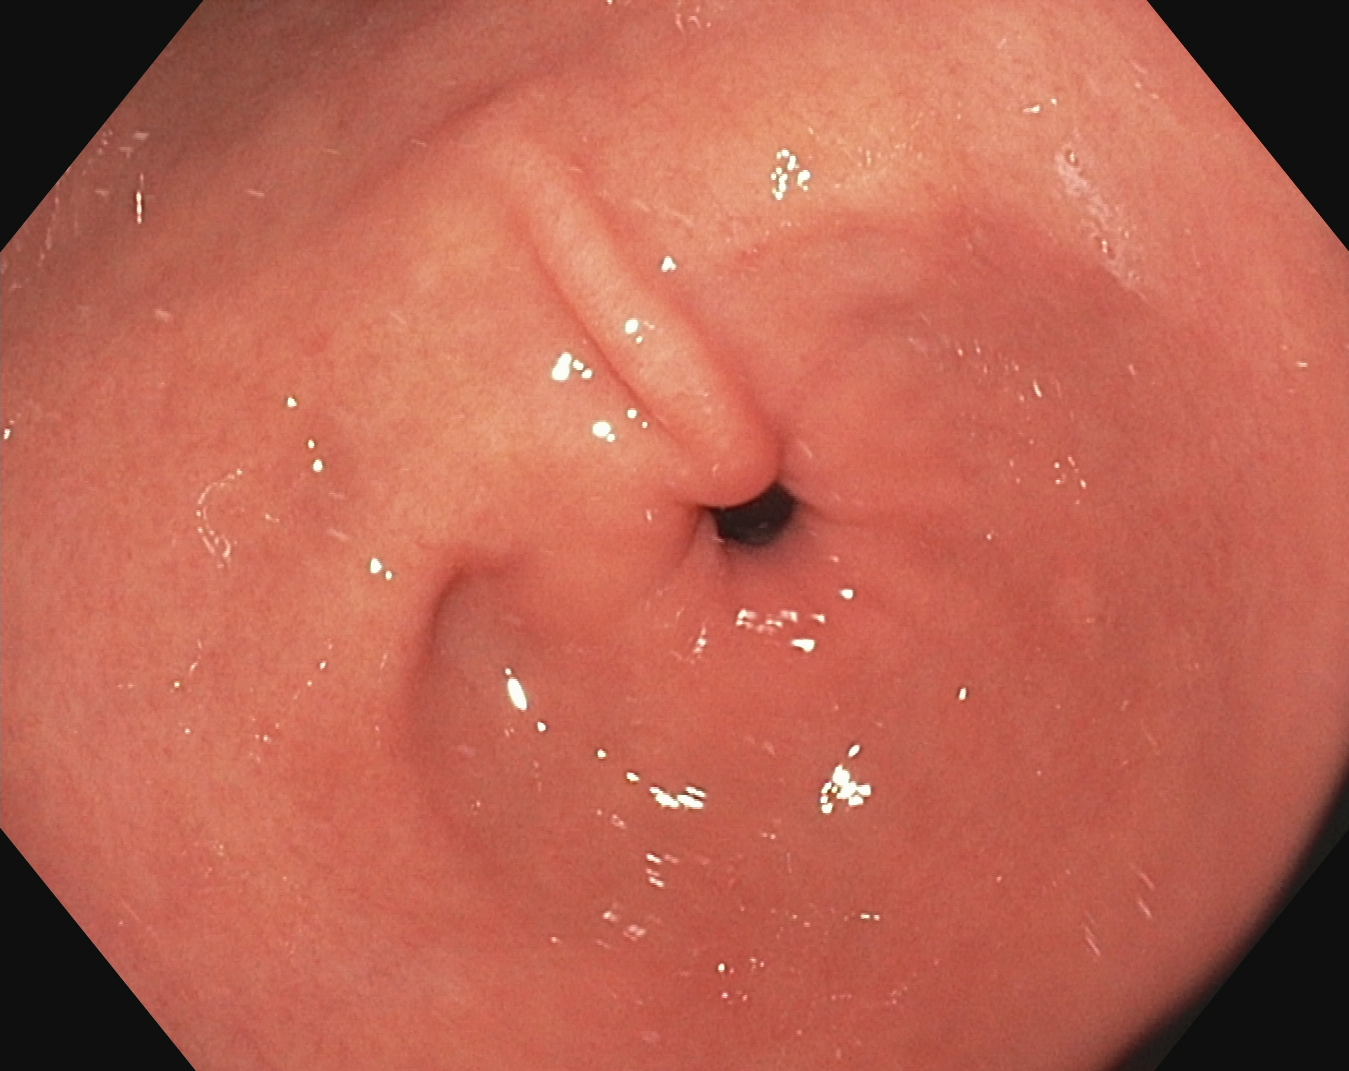This endoscopic image shows pylorus.